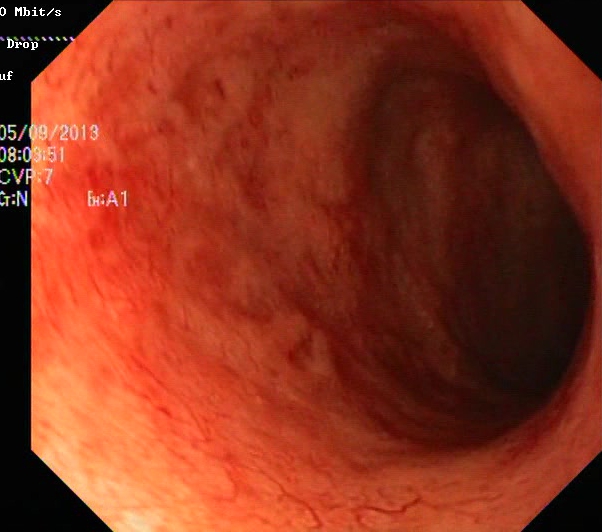{"modality": "lower gastrointestinal endoscopy", "tract": "lower GI tract", "finding": "UC, Mayo endoscopic subscore 2"}